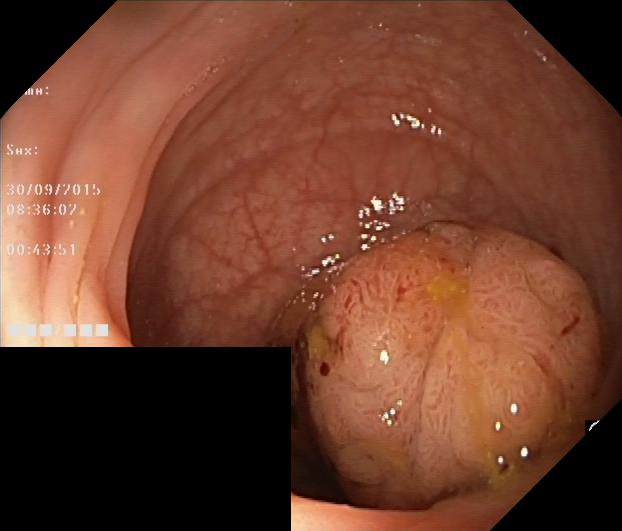This endoscopic image shows colorectal polyp(s).